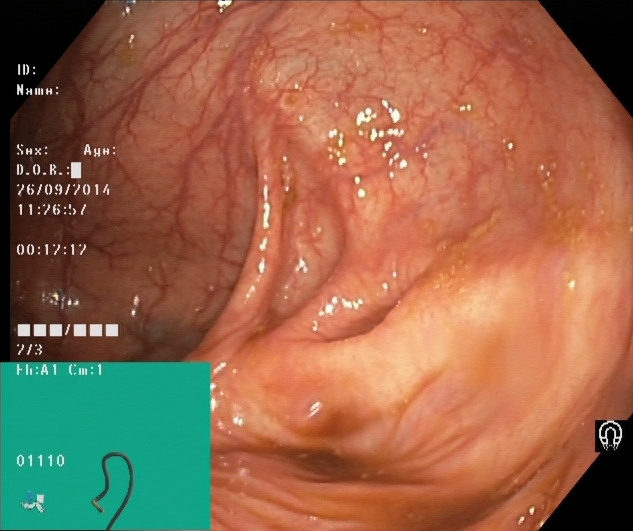This endoscopic image of the lower GI tract shows cecum.